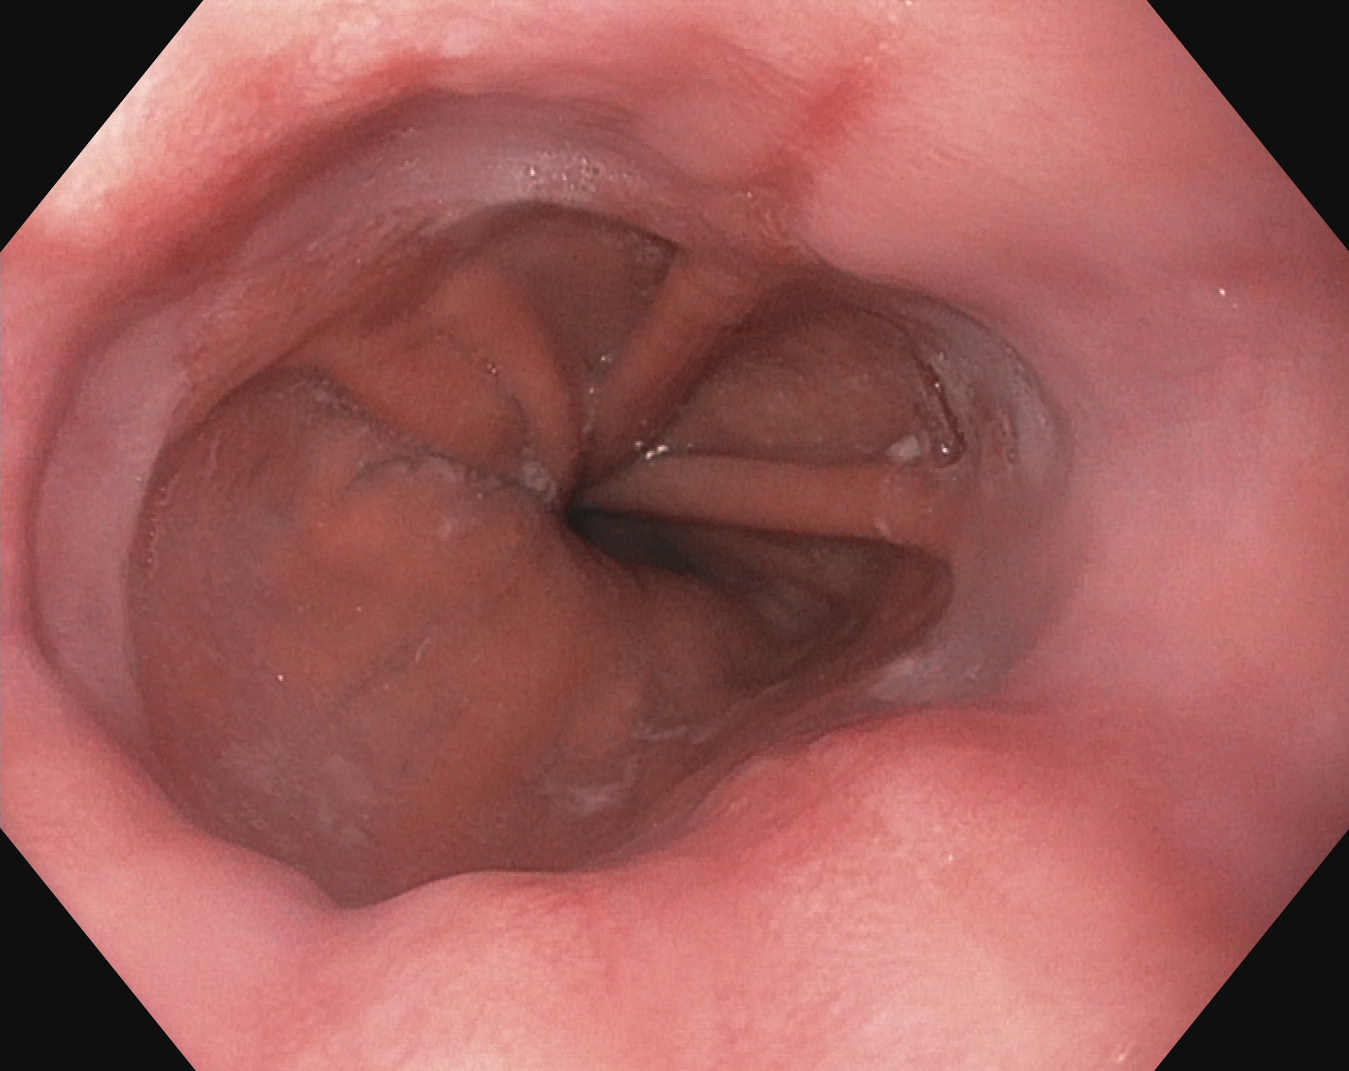This endoscopy frame of the upper GI tract shows reflux esophagitis, Los Angeles grade A.